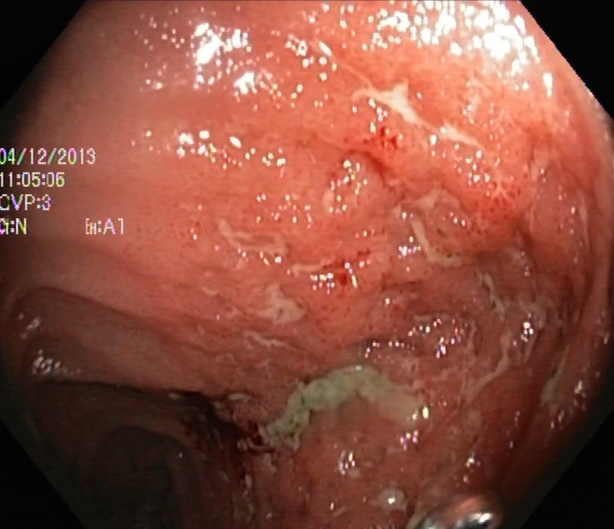Colonoscopy image of the lower GI tract showing UC, Mayo endoscopic subscore 3.